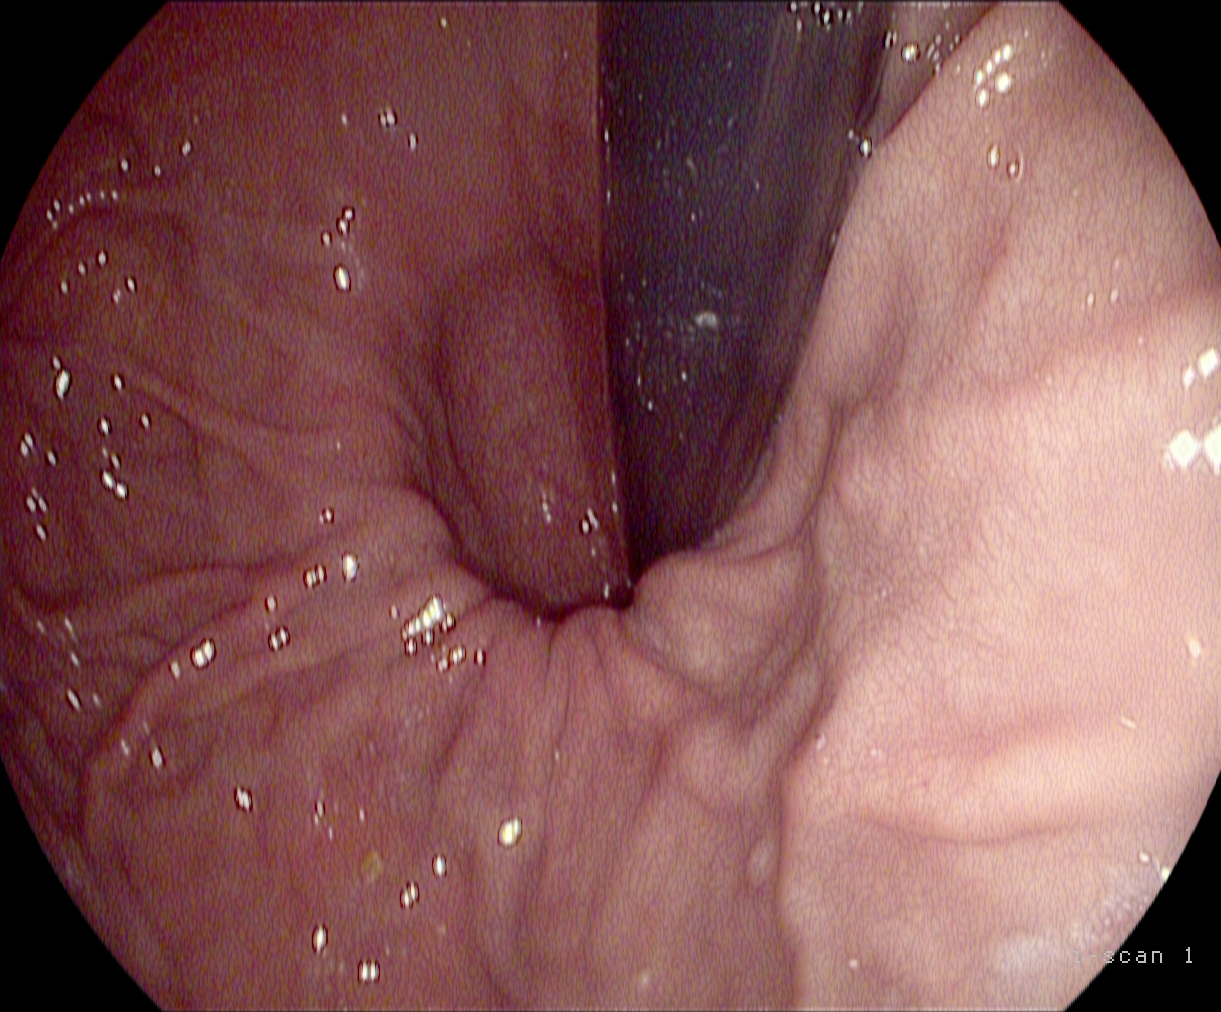PROCEDURE: Upper-GI endoscopy.
FINDINGS: Stomach in retroflexion.